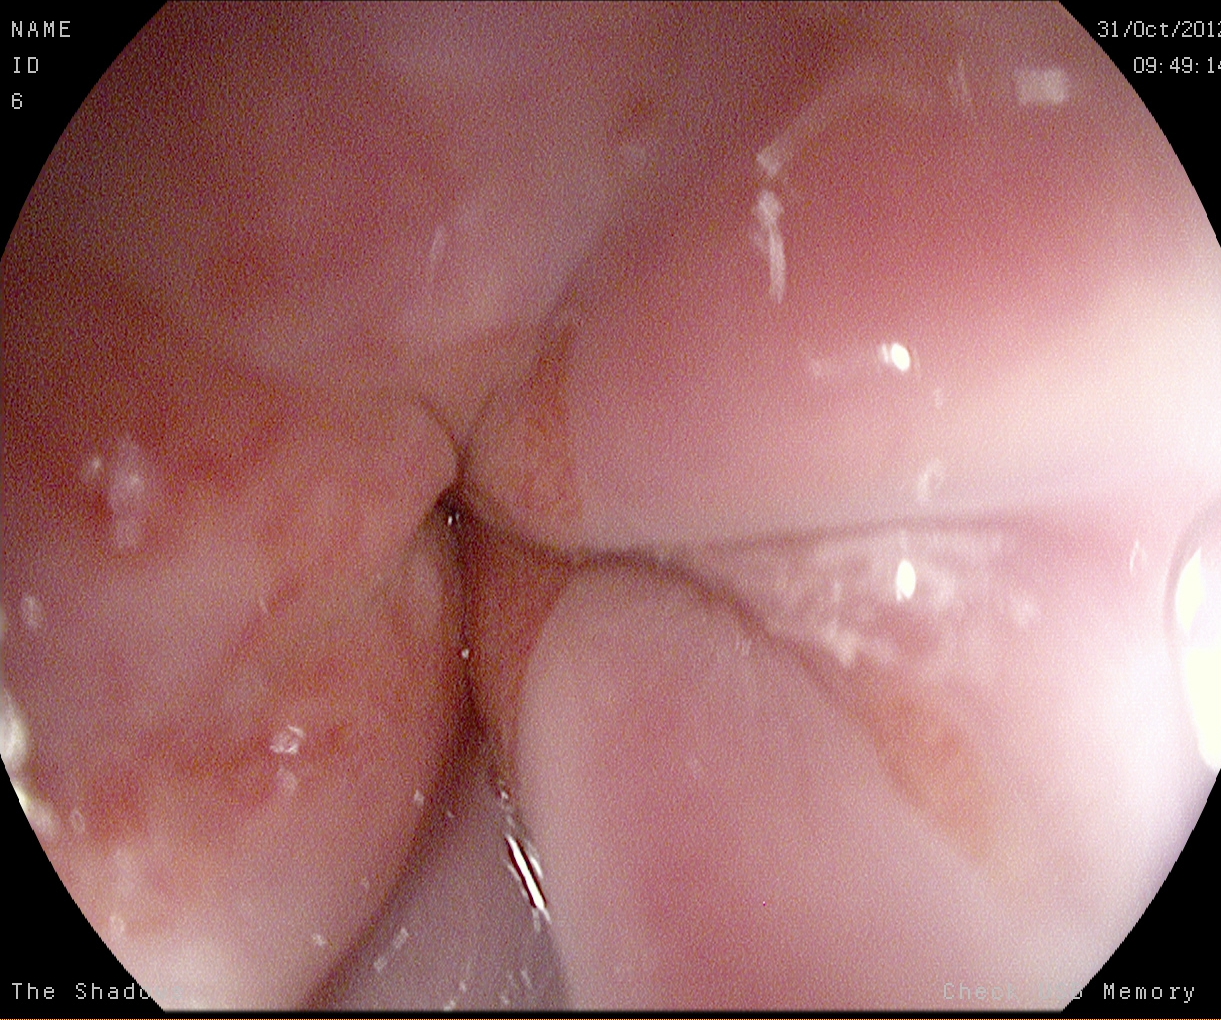PROCEDURE: Gastroscopy.
CATEGORY: Anatomical landmark.
FINDINGS: Z-line (gastroesophageal junction).